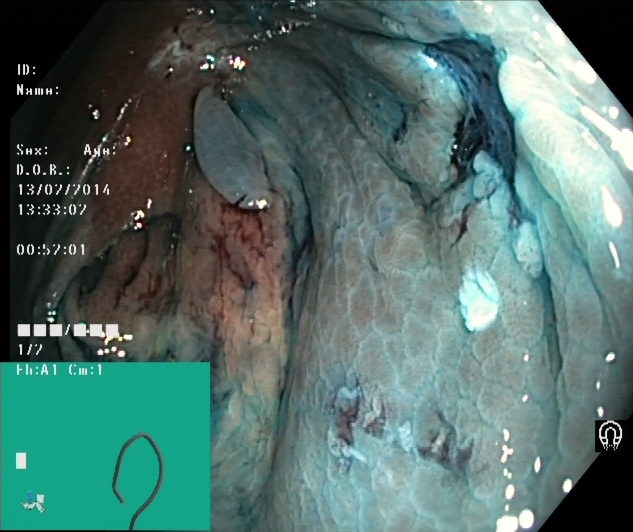Endoscopy image of the lower GI tract showing dyed resection margins (post-polypectomy).